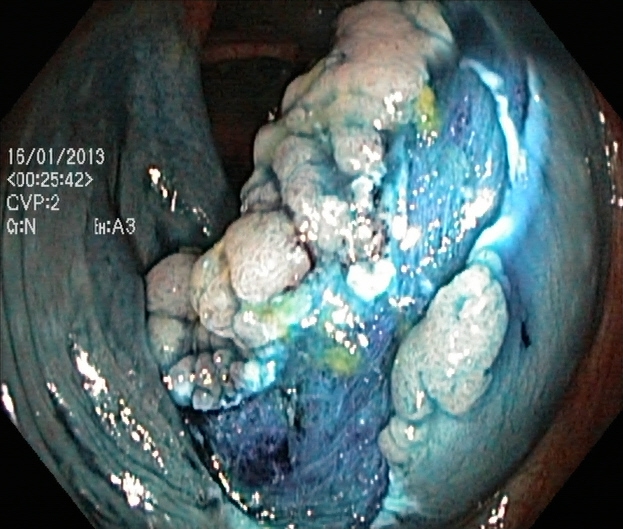Gastrointestinal endoscopy image of the lower GI tract showing dyed resection margins (post-polypectomy).